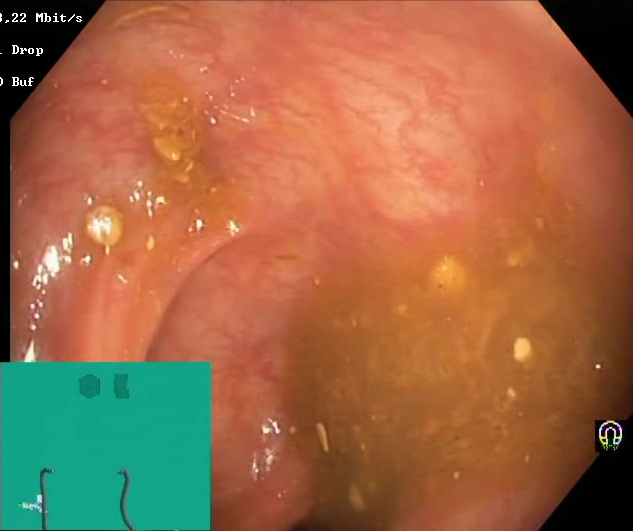Boston Bowel Preparation Scale score 0–1 (inadequate preparation).